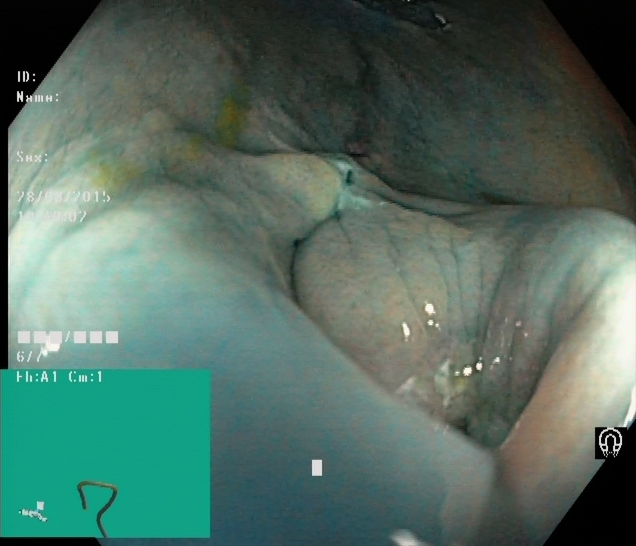Colonoscopy — dyed and lifted polyp (pre-resection).